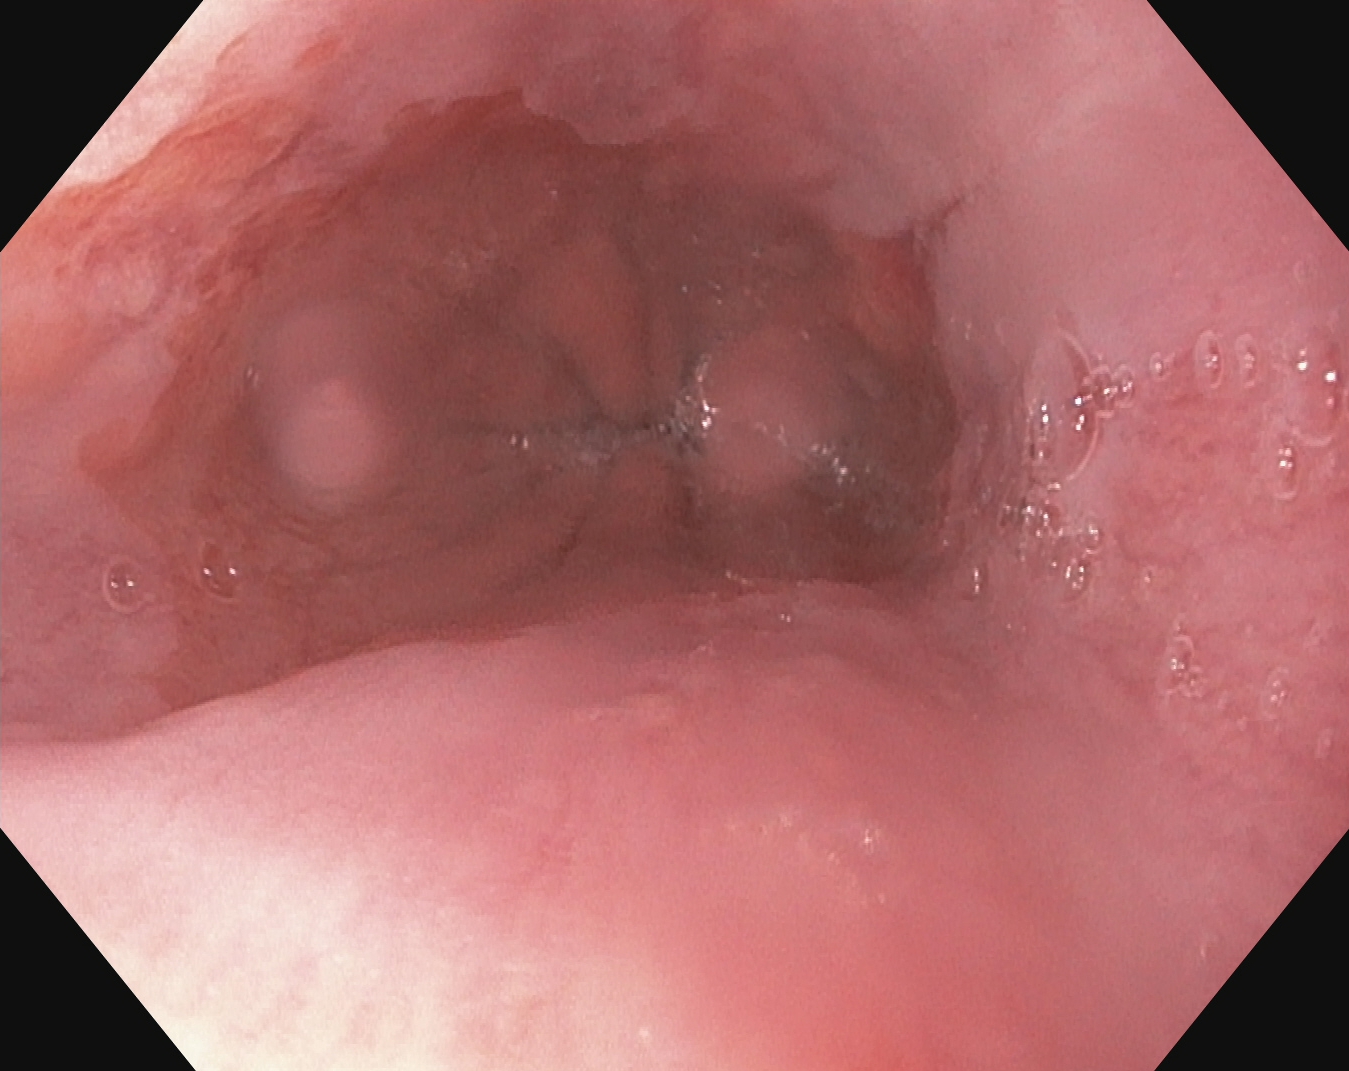This endoscopy frame of the upper GI tract shows reflux esophagitis, Los Angeles grade A.